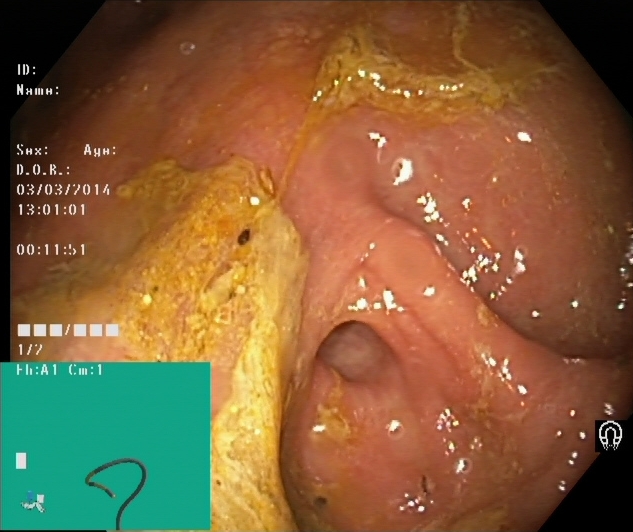Cecum.